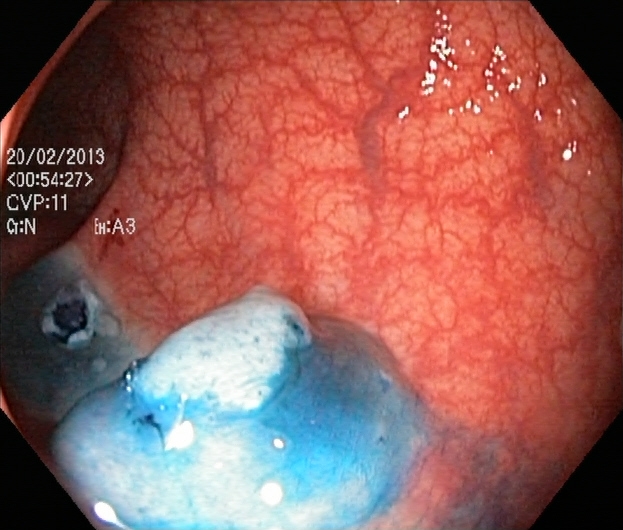modality: colonoscopy; finding: dyed and lifted polyp (pre-resection)